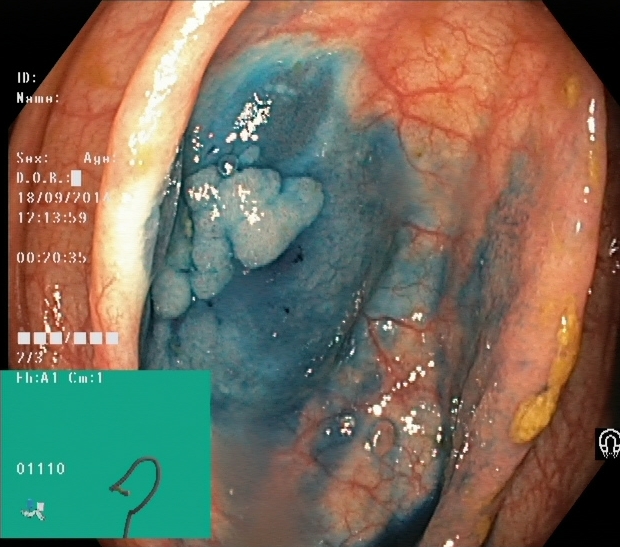Colonoscopy — dyed and lifted polyp (pre-resection).